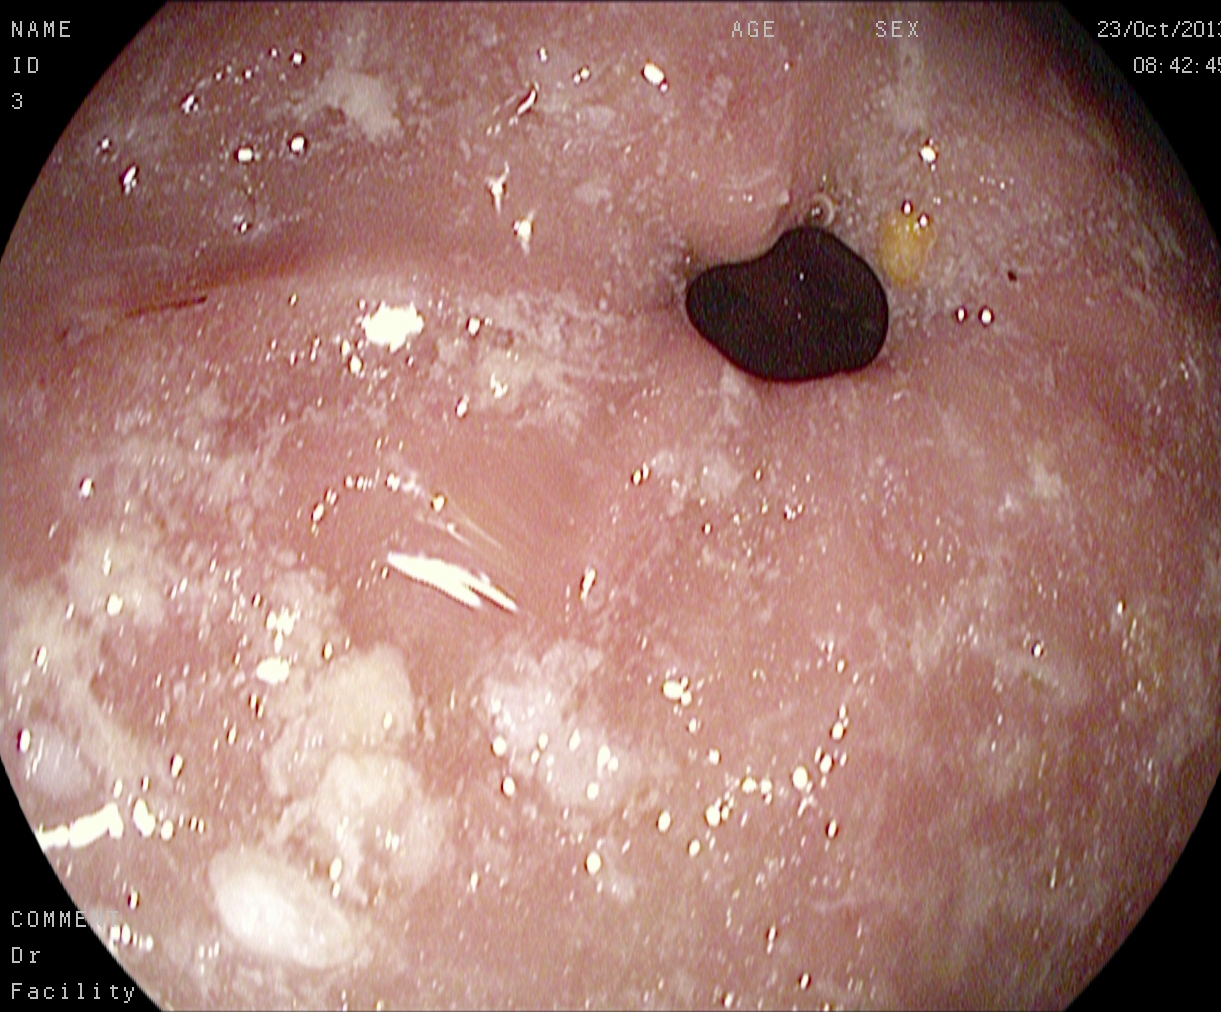pylorus.